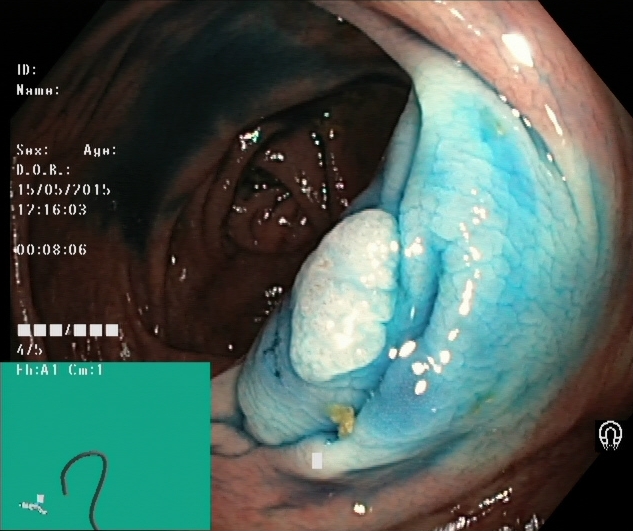PROCEDURE: Lower gastrointestinal endoscopy.
FINDINGS: Dyed and lifted polyp (pre-resection).